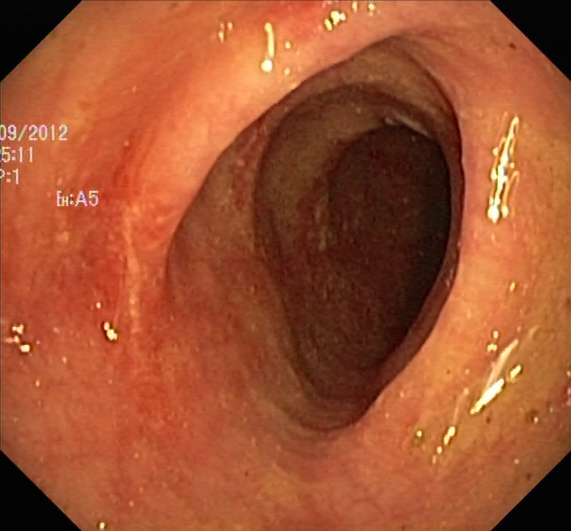This endoscopy frame shows ulcerative colitis, Mayo endoscopic subscore 1–2.